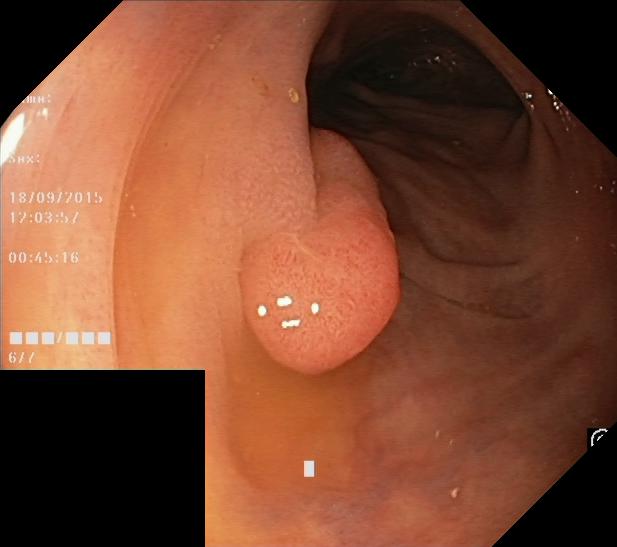Colorectal polyp(s).